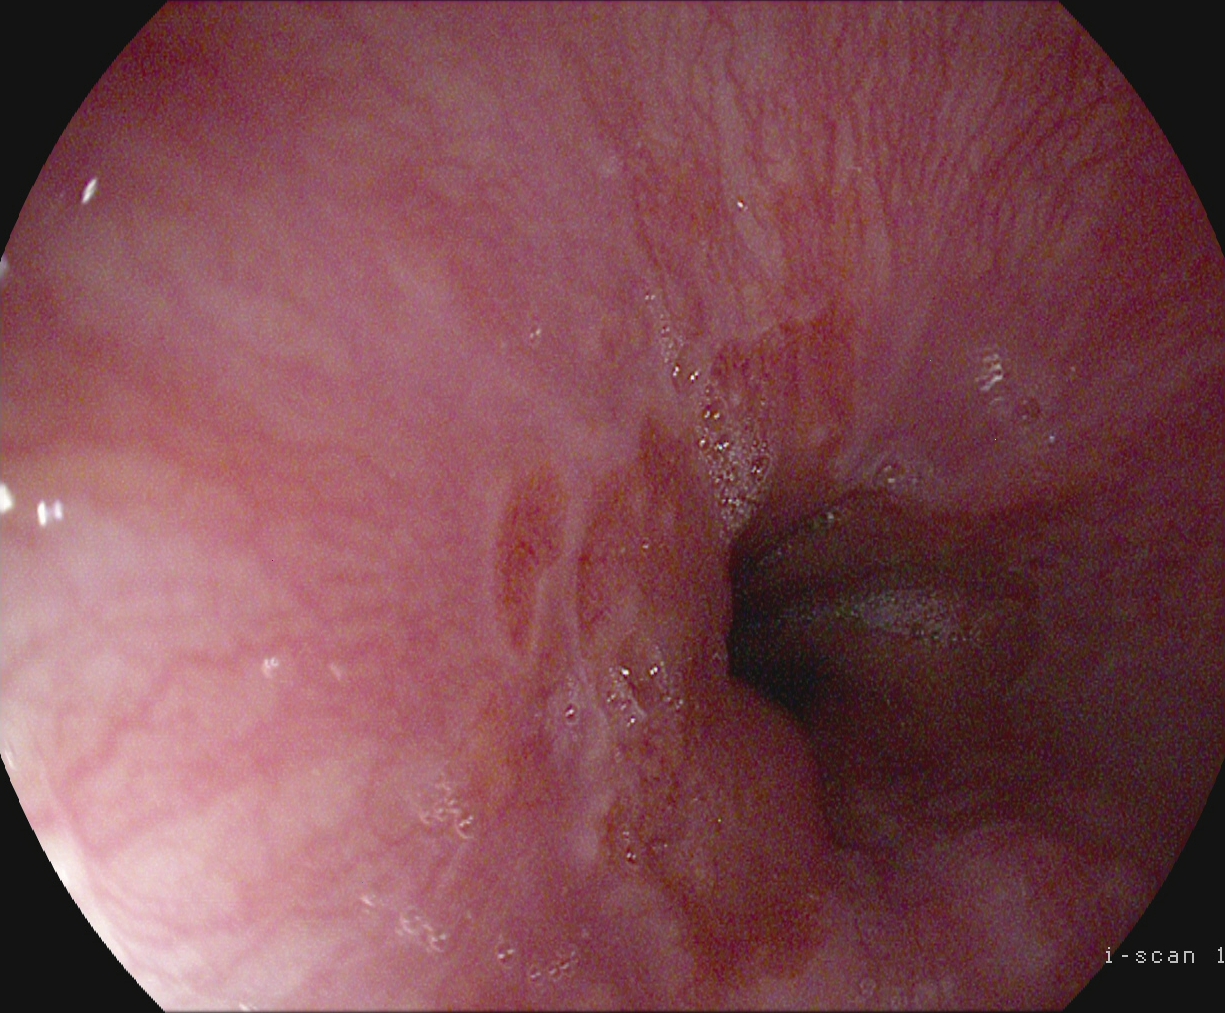Z-line (gastroesophageal junction).